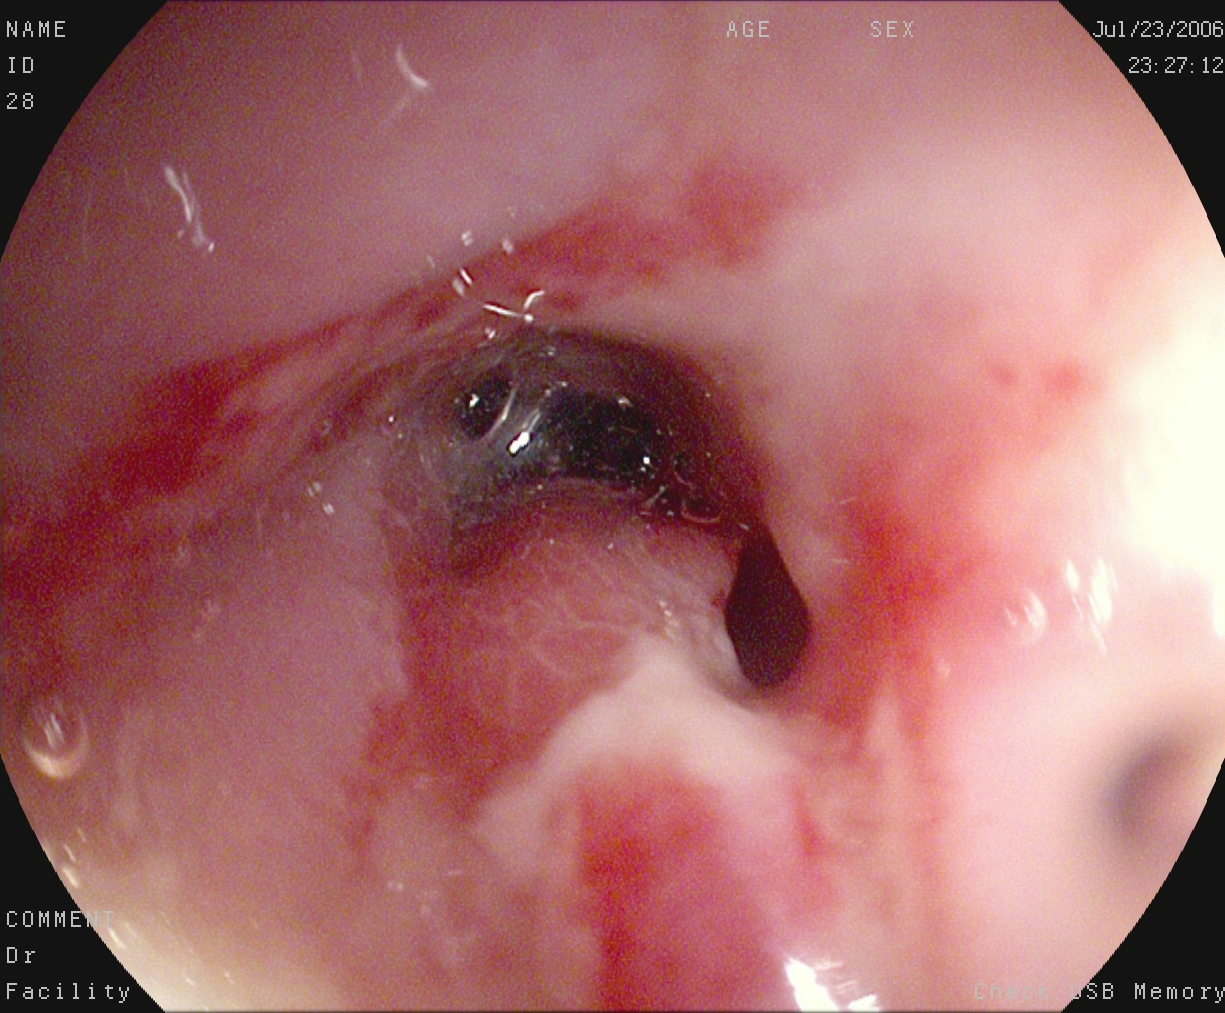Reflux esophagitis, Los Angeles grade B–D.